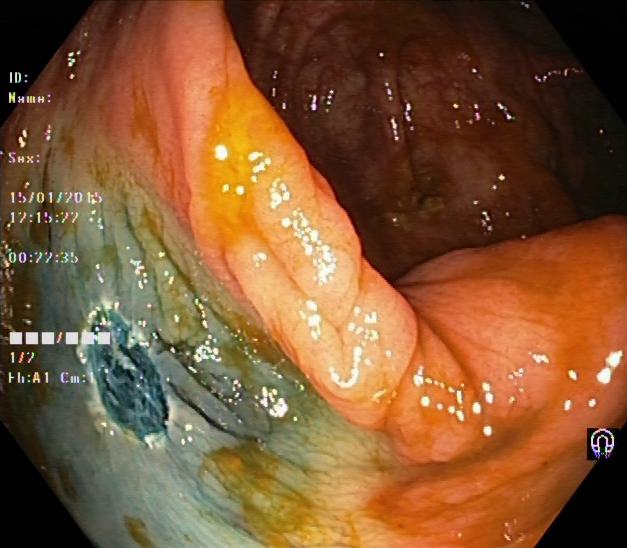This endoscopy frame of the lower GI tract shows dyed resection margins (post-polypectomy).